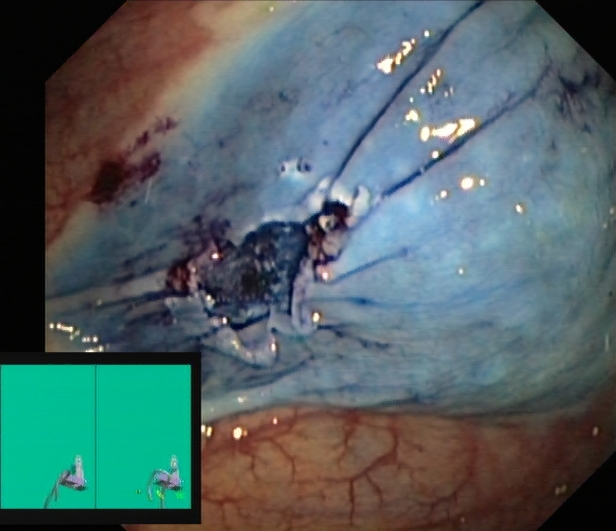Lower gastrointestinal endoscopy. Tract: lower GI tract. Therapeutic intervention. Finding: dyed resection margins (post-polypectomy).